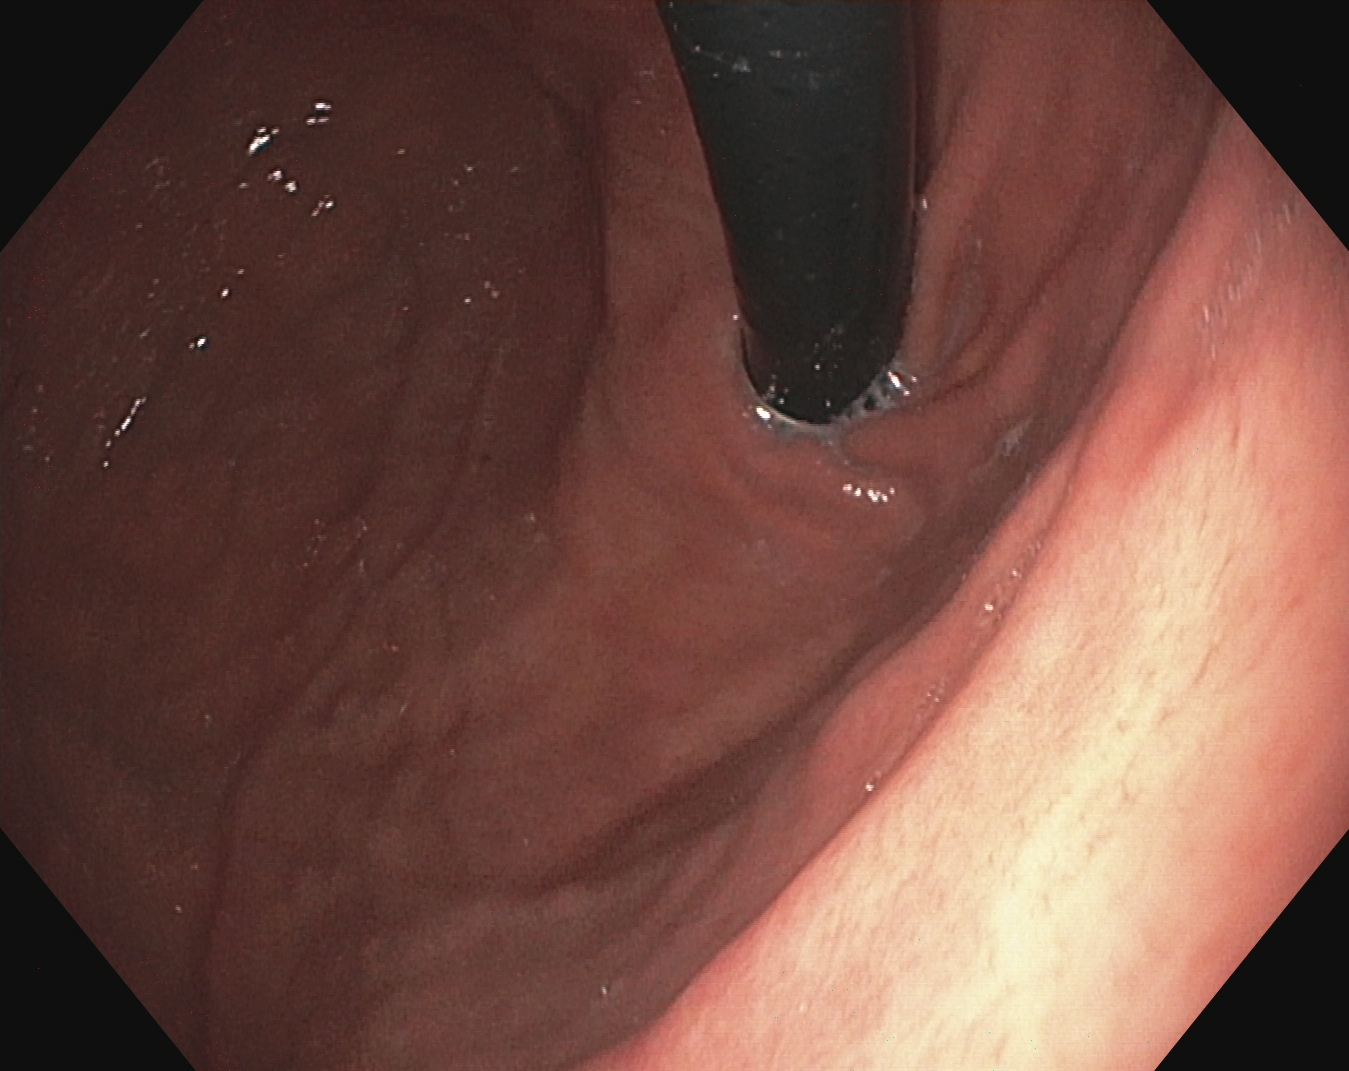modality: esophagogastroduodenoscopy; finding: stomach in retroflexion